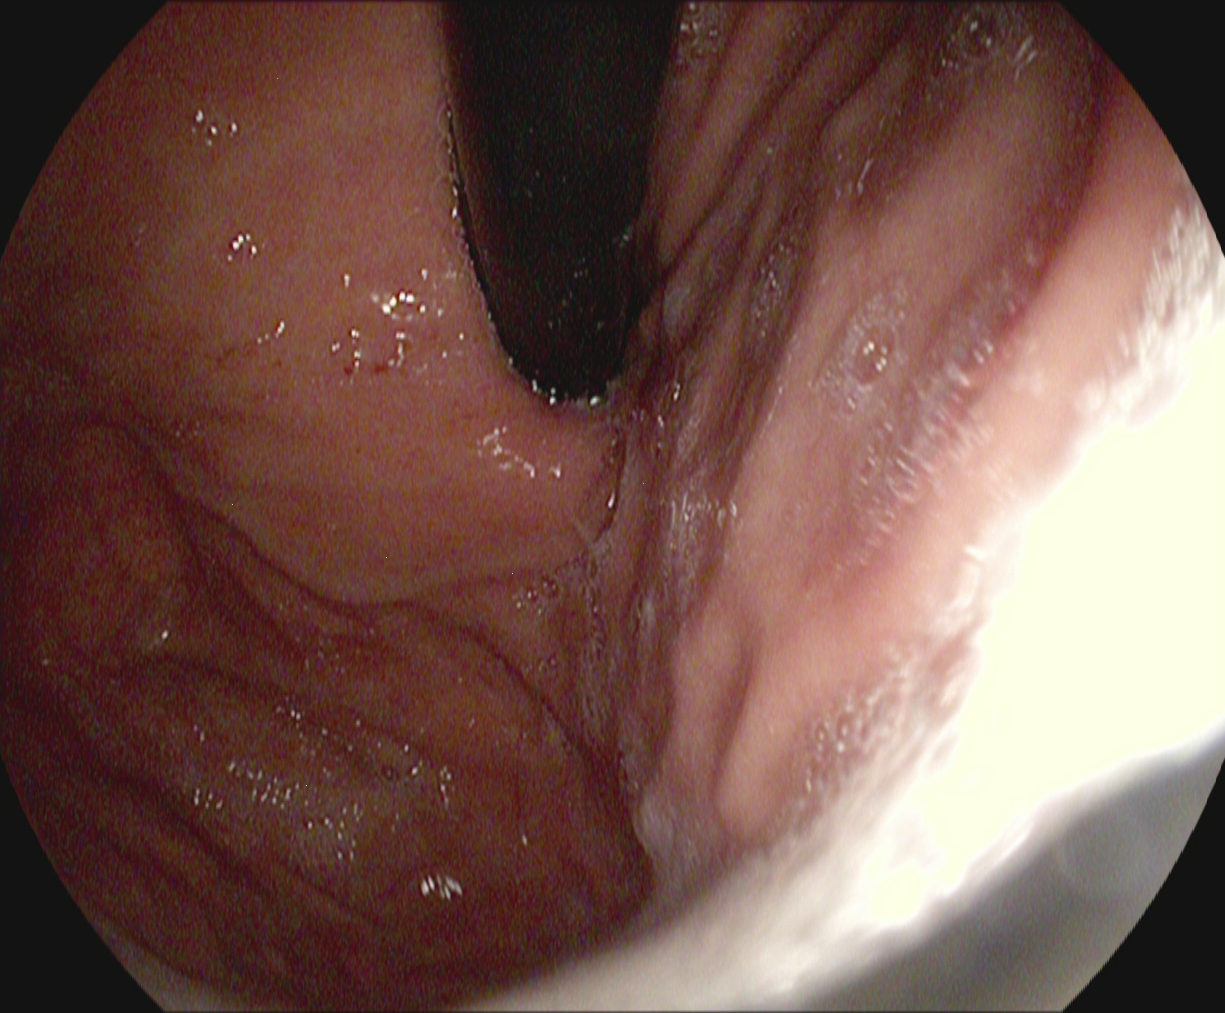Gastroscopy — stomach in retroflexion.